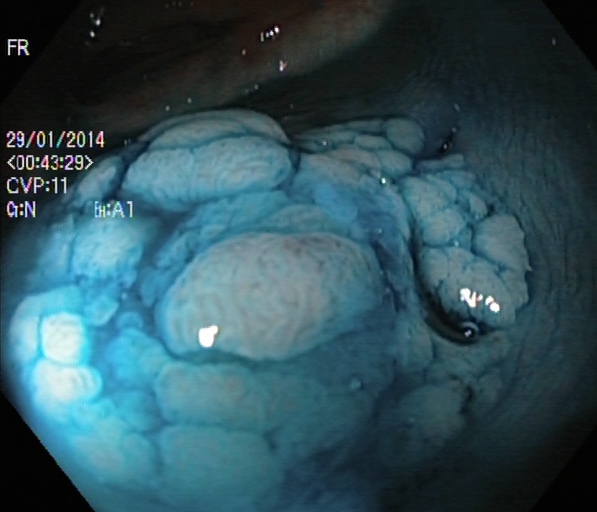modality: lower-GI endoscopy; tract: lower GI tract; category: therapeutic intervention; finding: dyed and lifted polyp (pre-resection)